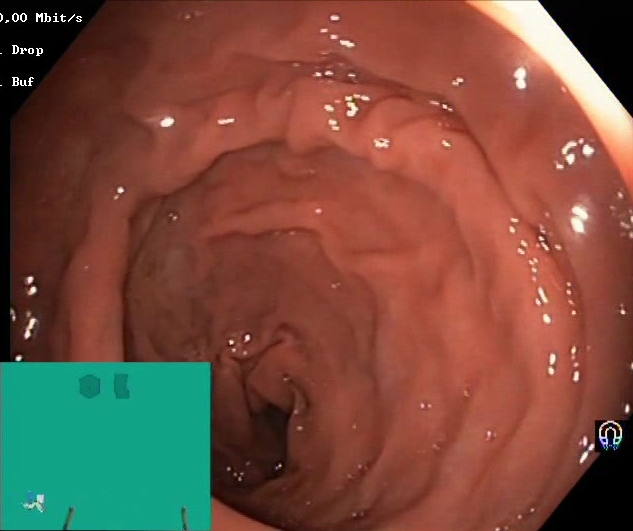Colonoscopy — Boston Bowel Preparation Scale score 2–3 (adequate preparation).